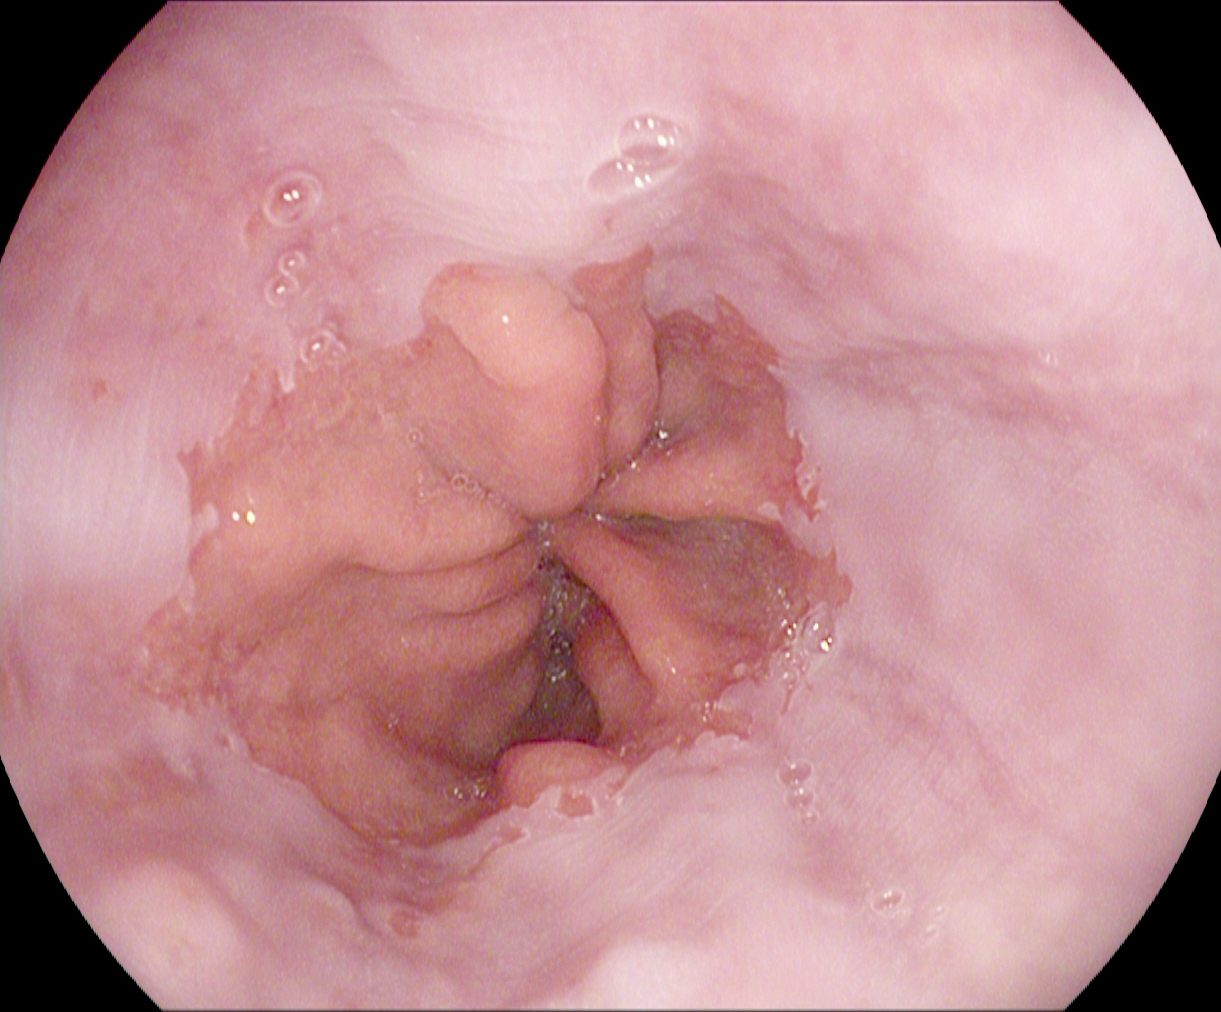Upper-GI endoscopy. Anatomical landmark. Finding: Z-line (gastroesophageal junction).